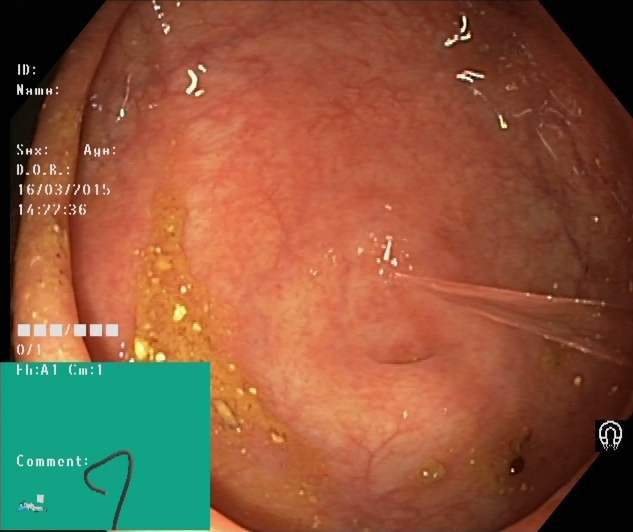{"modality": "lower gastrointestinal endoscopy", "tract": "lower GI tract", "finding": "cecum"}